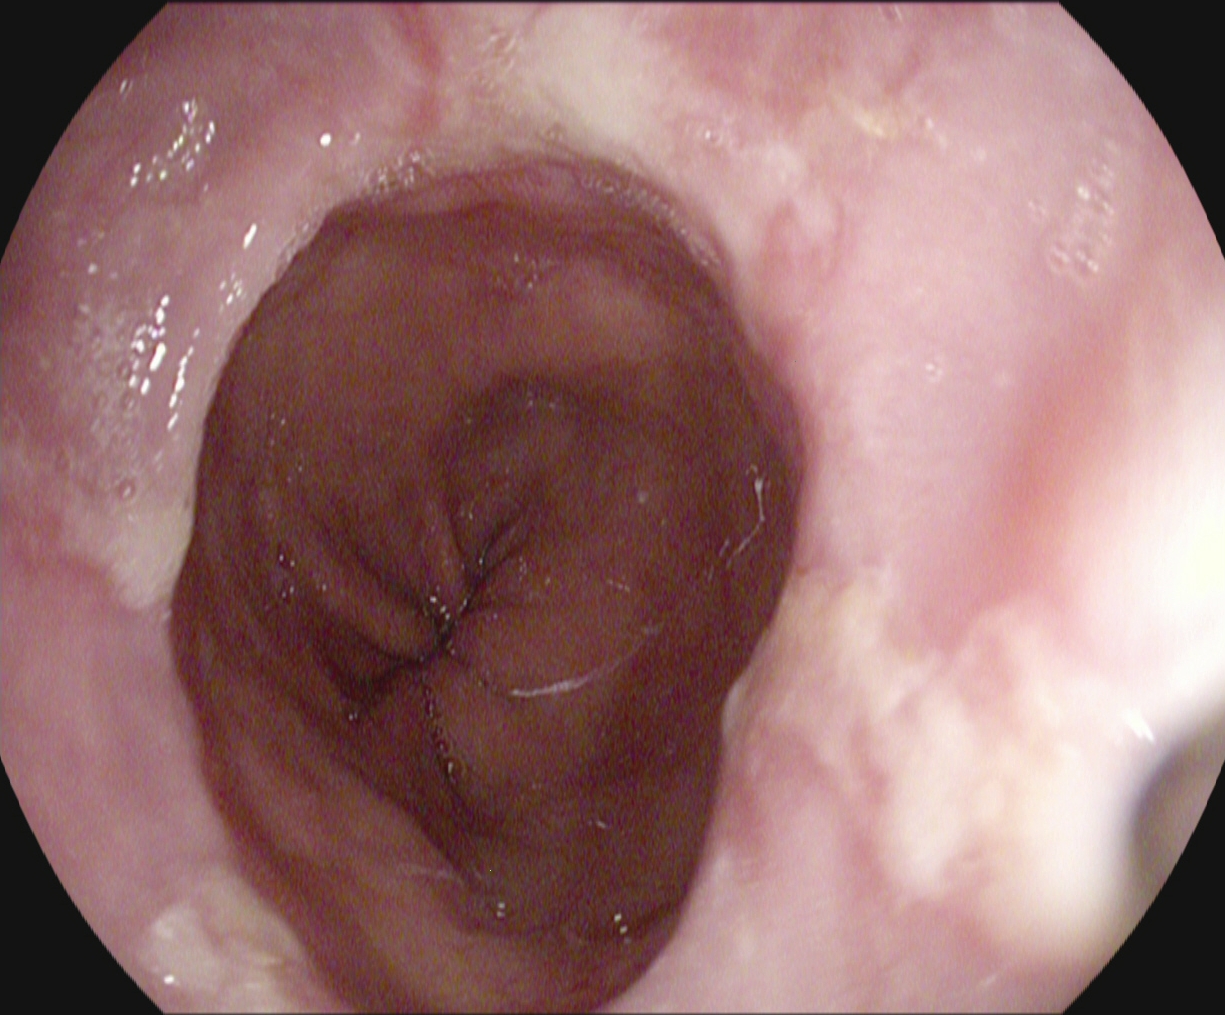{"modality": "esophagogastroduodenoscopy", "tract": "upper GI tract", "finding": "reflux esophagitis, LA grade B\u2013D"}